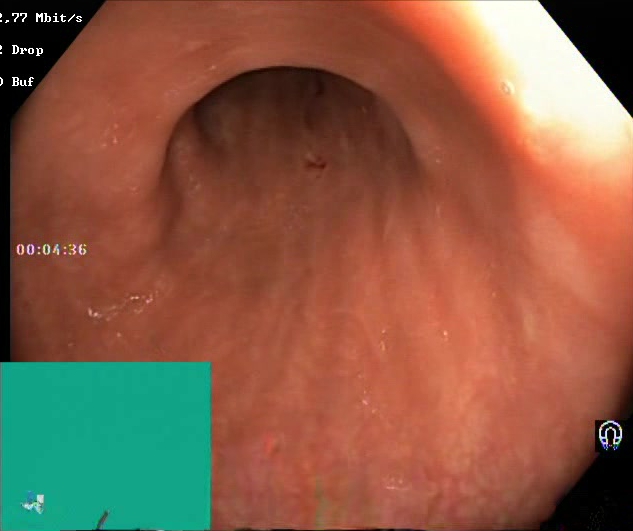Lower-GI endoscopy — Boston Bowel Preparation Scale score 2–3 (adequate preparation).